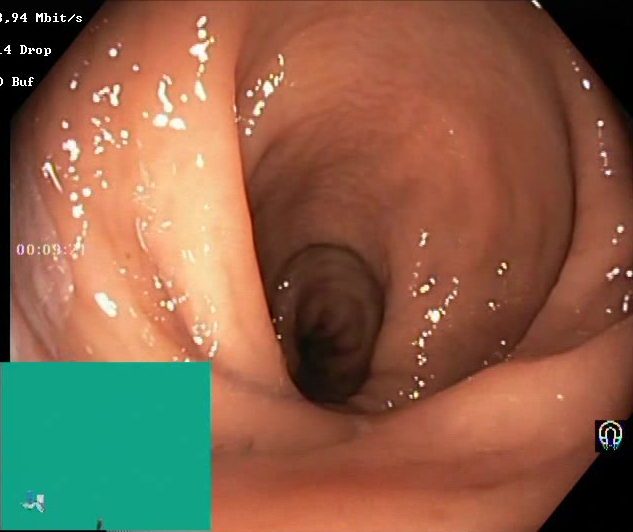Lower-GI endoscopy. Tract: lower GI tract. Mucosal-view quality. Finding: BBPS score 2–3 (adequate preparation).